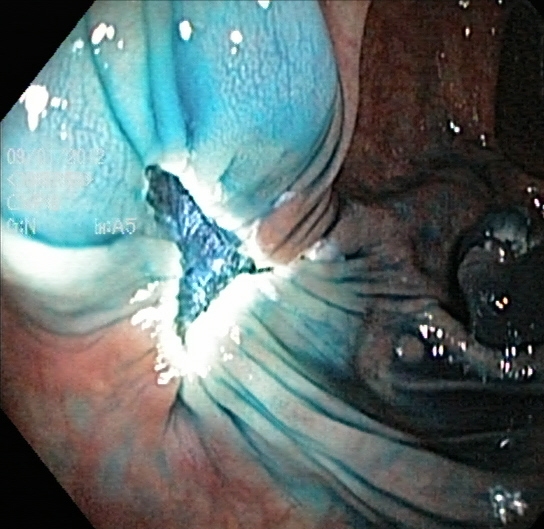Endoscopic frame showing dyed resection margins (post-polypectomy).